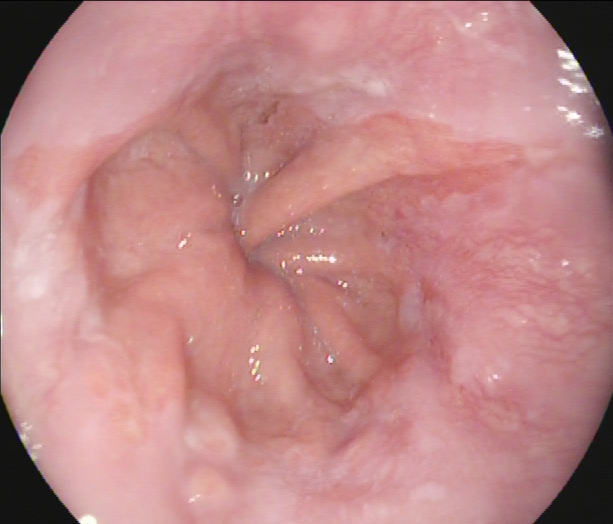Gastroscopy — reflux esophagitis, LA grade A.